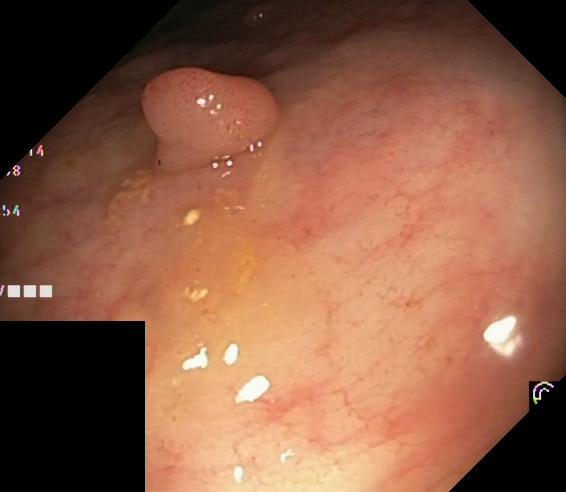colorectal polyp(s).